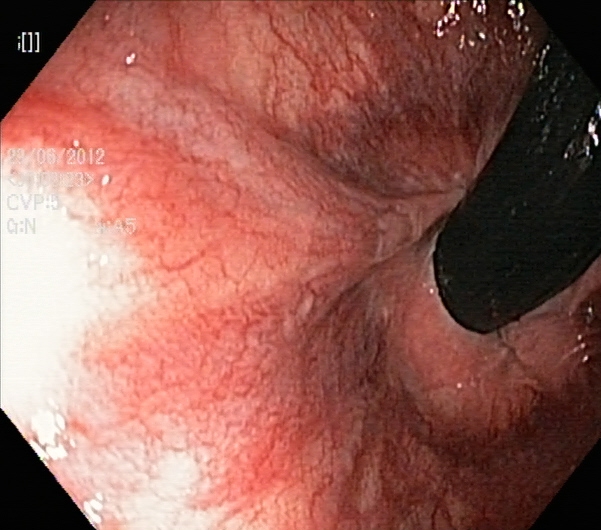PROCEDURE: Colonoscopy.
FINDINGS: Rectum in retroflexion.